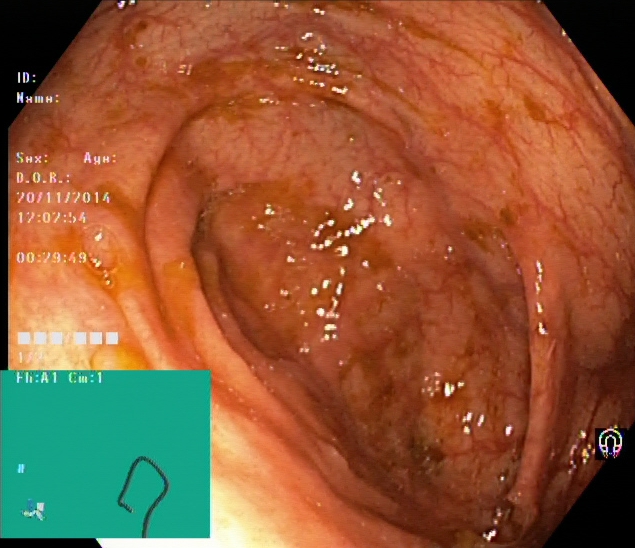Lower gastrointestinal endoscopy. Tract: lower GI tract. Anatomical landmark. Finding: cecum.